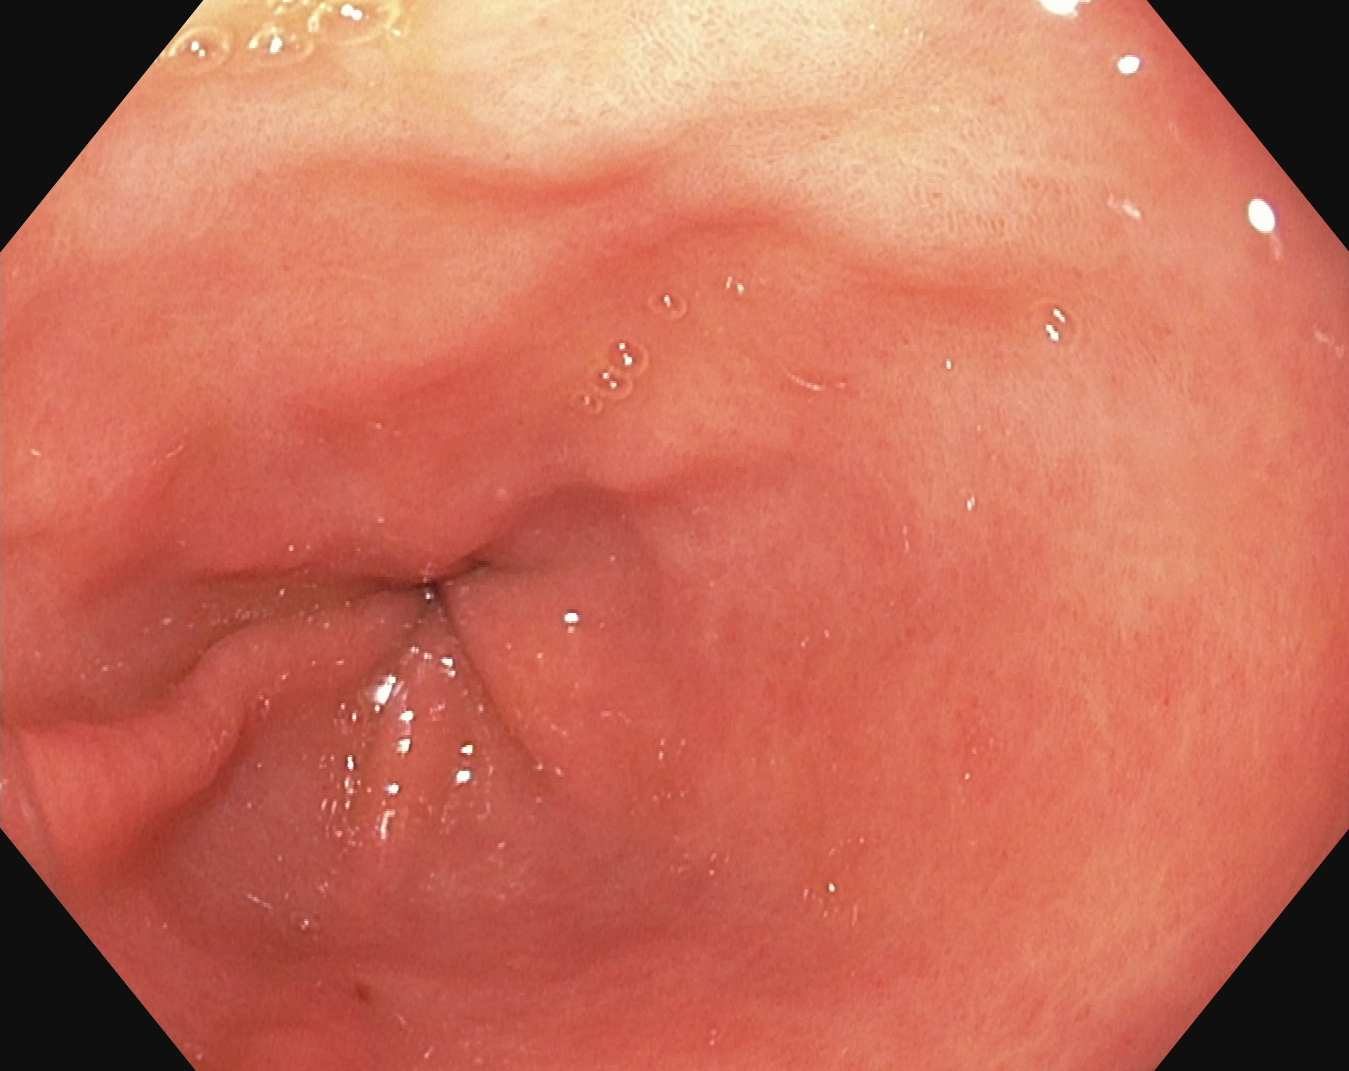Pylorus.